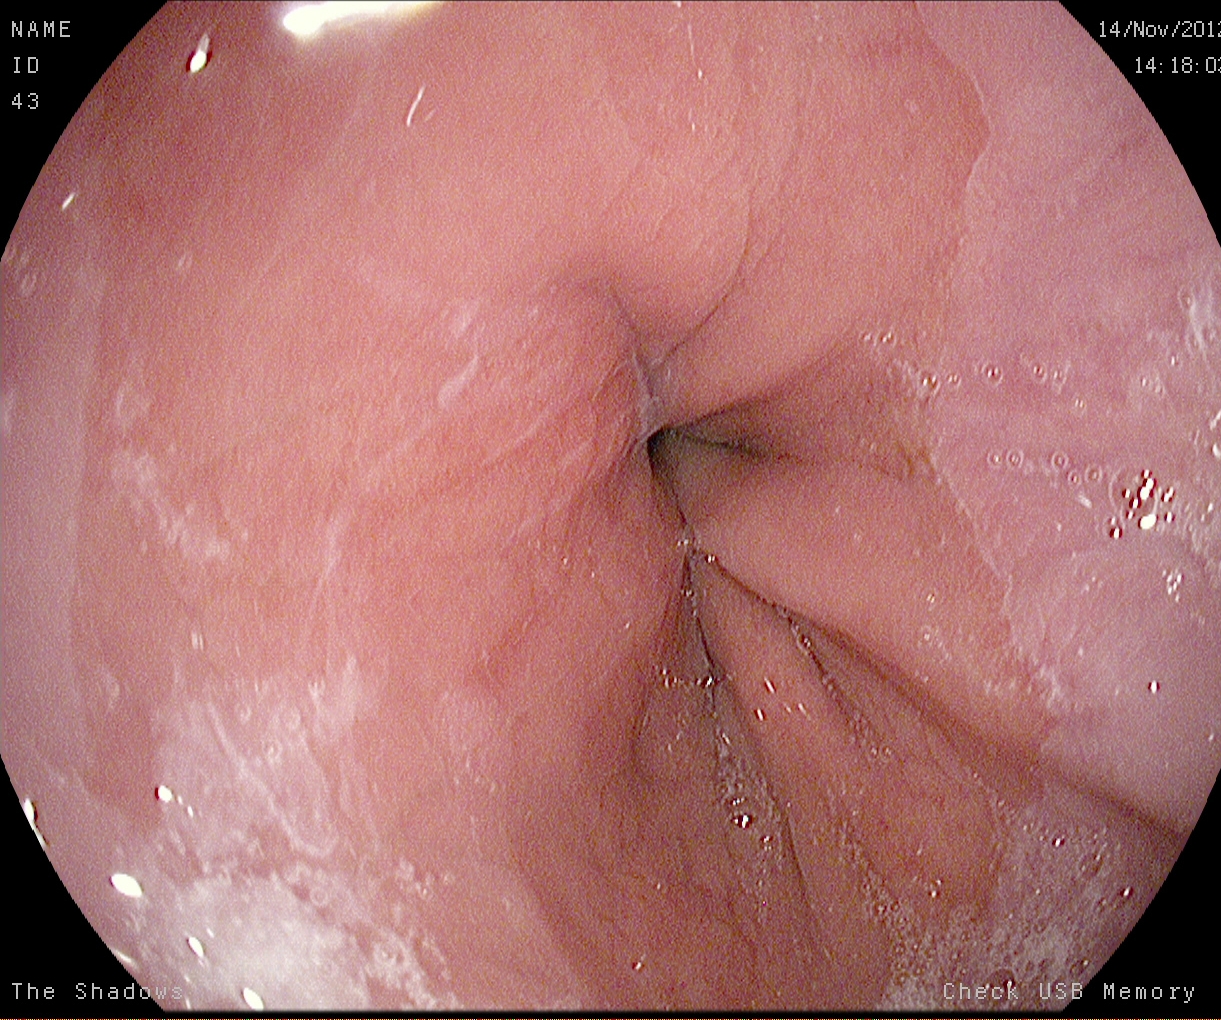Z-line (gastroesophageal junction).